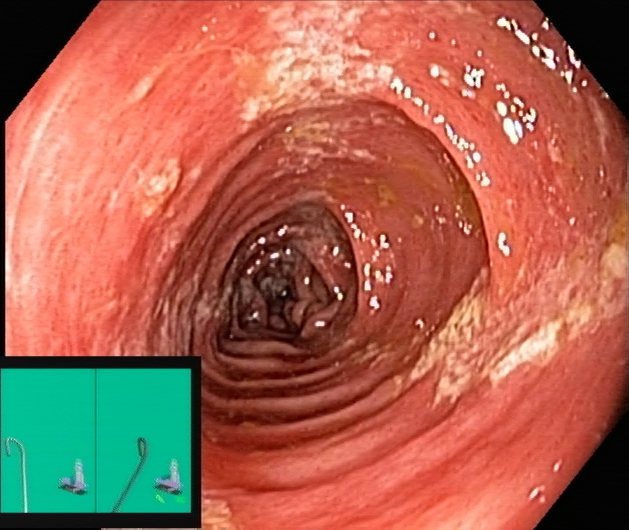Endoscopic image of the lower GI tract showing ulcerative colitis, Mayo endoscopic subscore 2.